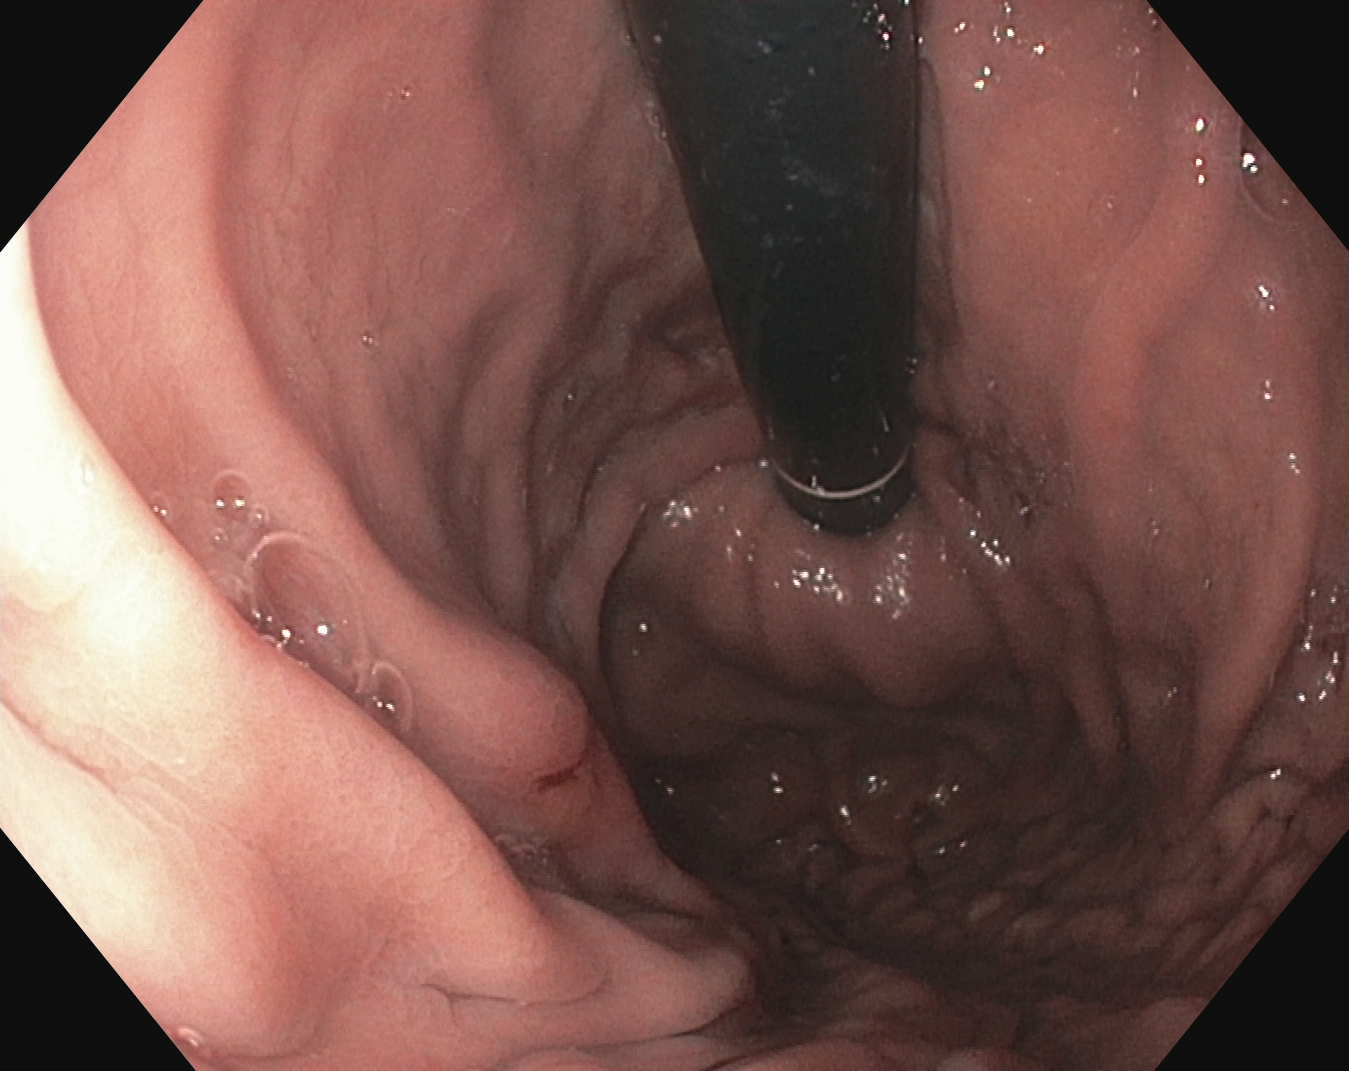PROCEDURE: Gastroscopy.
FINDINGS: Stomach in retroflexion.